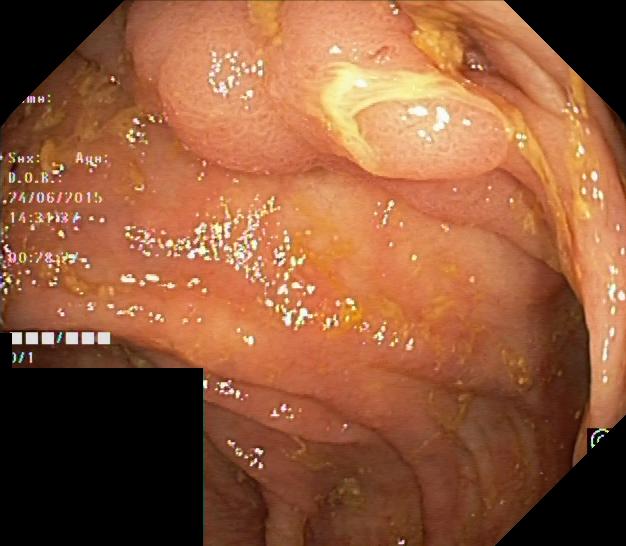modality: lower-GI endoscopy | finding: colorectal polyp(s)